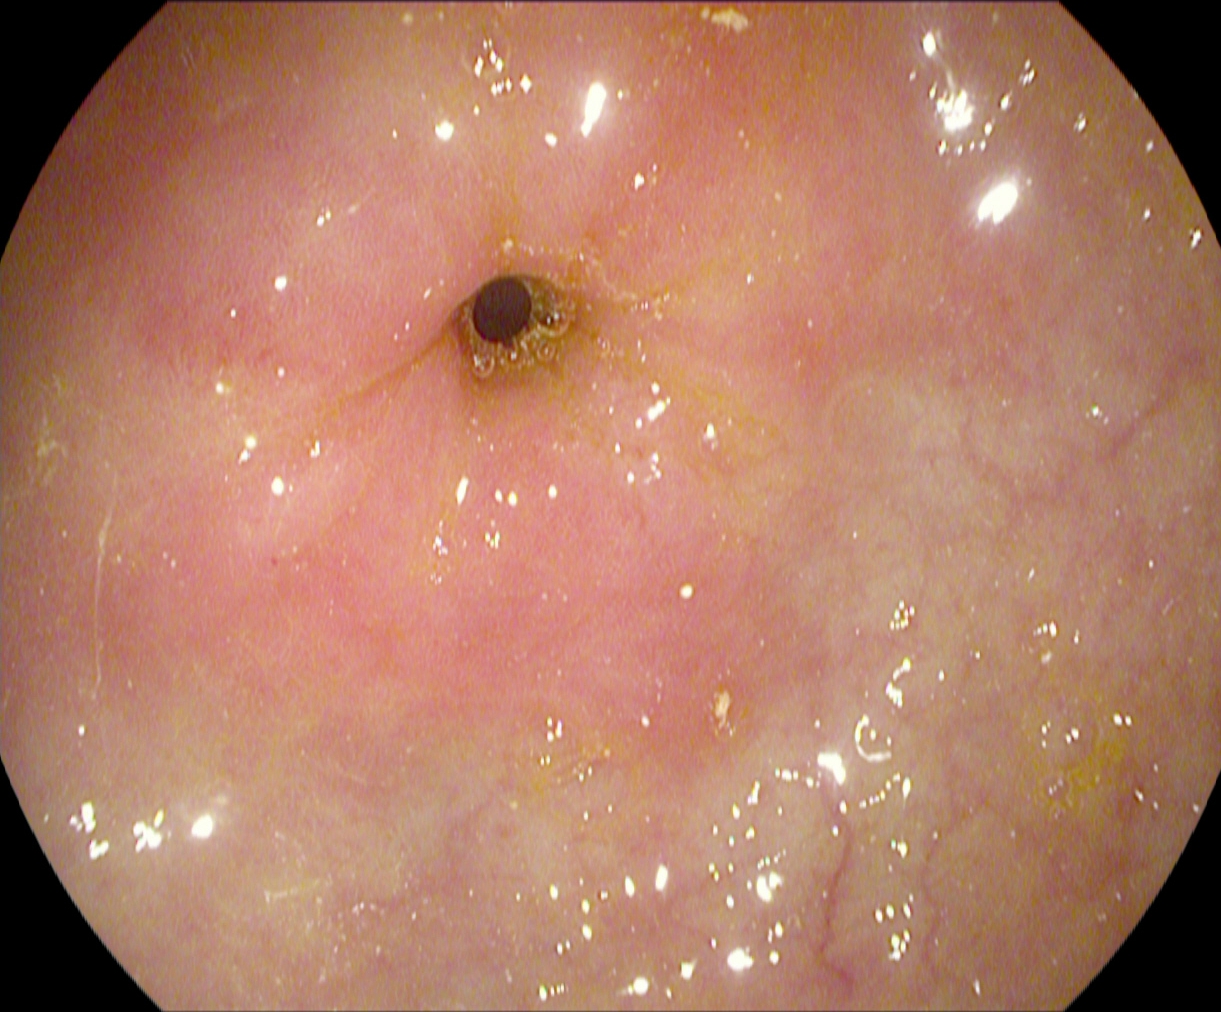modality: esophagogastroduodenoscopy; tract: upper GI tract; category: anatomical landmark; finding: pylorus